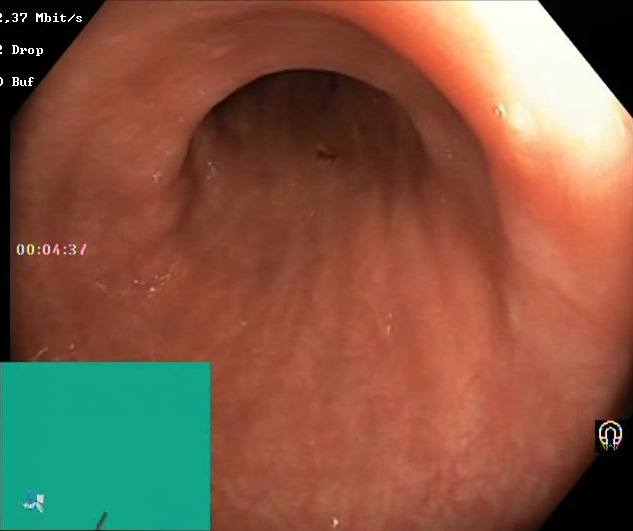This endoscopy frame of the lower GI tract shows Boston Bowel Preparation Scale score 2–3 (adequate preparation).